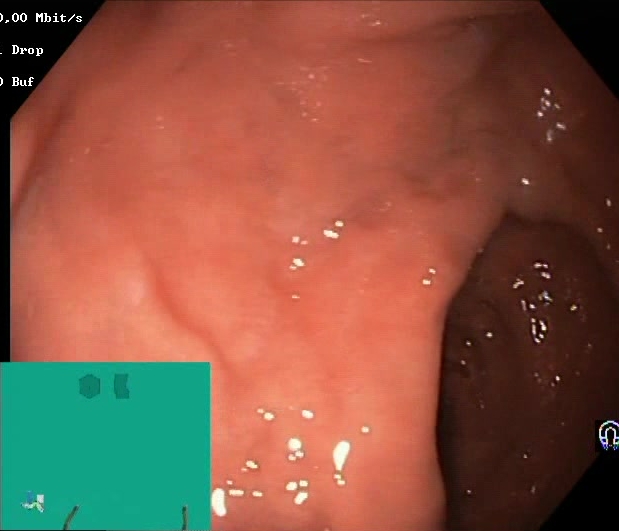{"modality": "lower gastrointestinal endoscopy", "finding": "Boston Bowel Preparation Scale score 2\u20133 (adequate preparation)"}